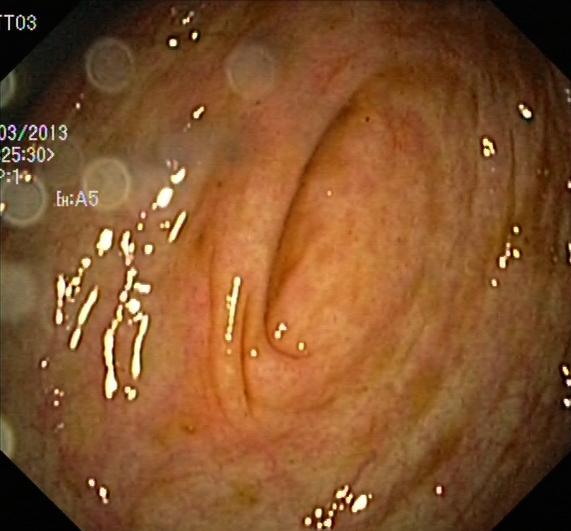Cecum.